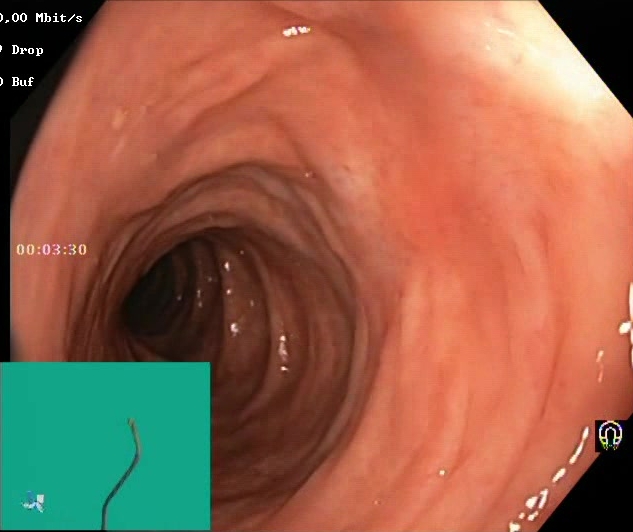PROCEDURE: Lower-GI endoscopy.
FINDINGS: Boston Bowel Preparation Scale score 2–3 (adequate preparation).